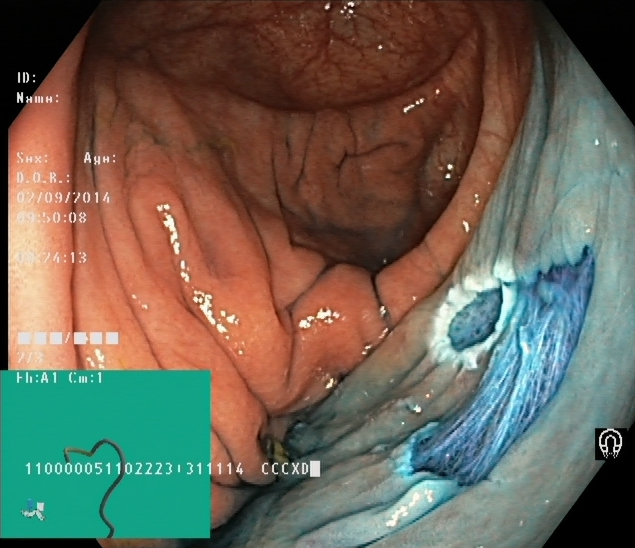PROCEDURE: Lower gastrointestinal endoscopy.
FINDINGS: Dyed resection margins (post-polypectomy).